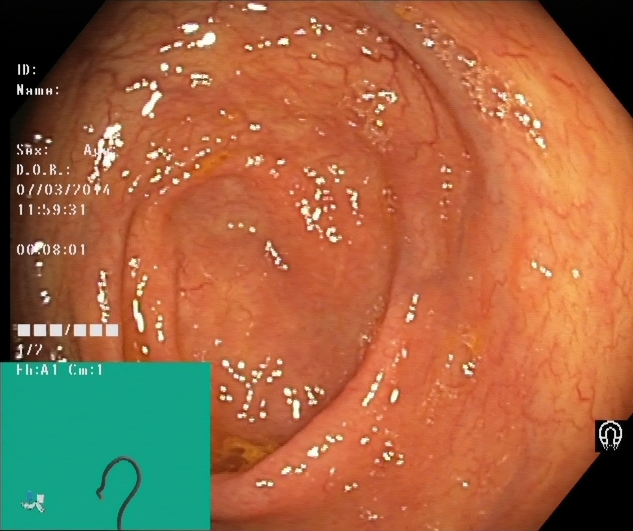PROCEDURE: Colonoscopy.
FINDINGS: Cecum.